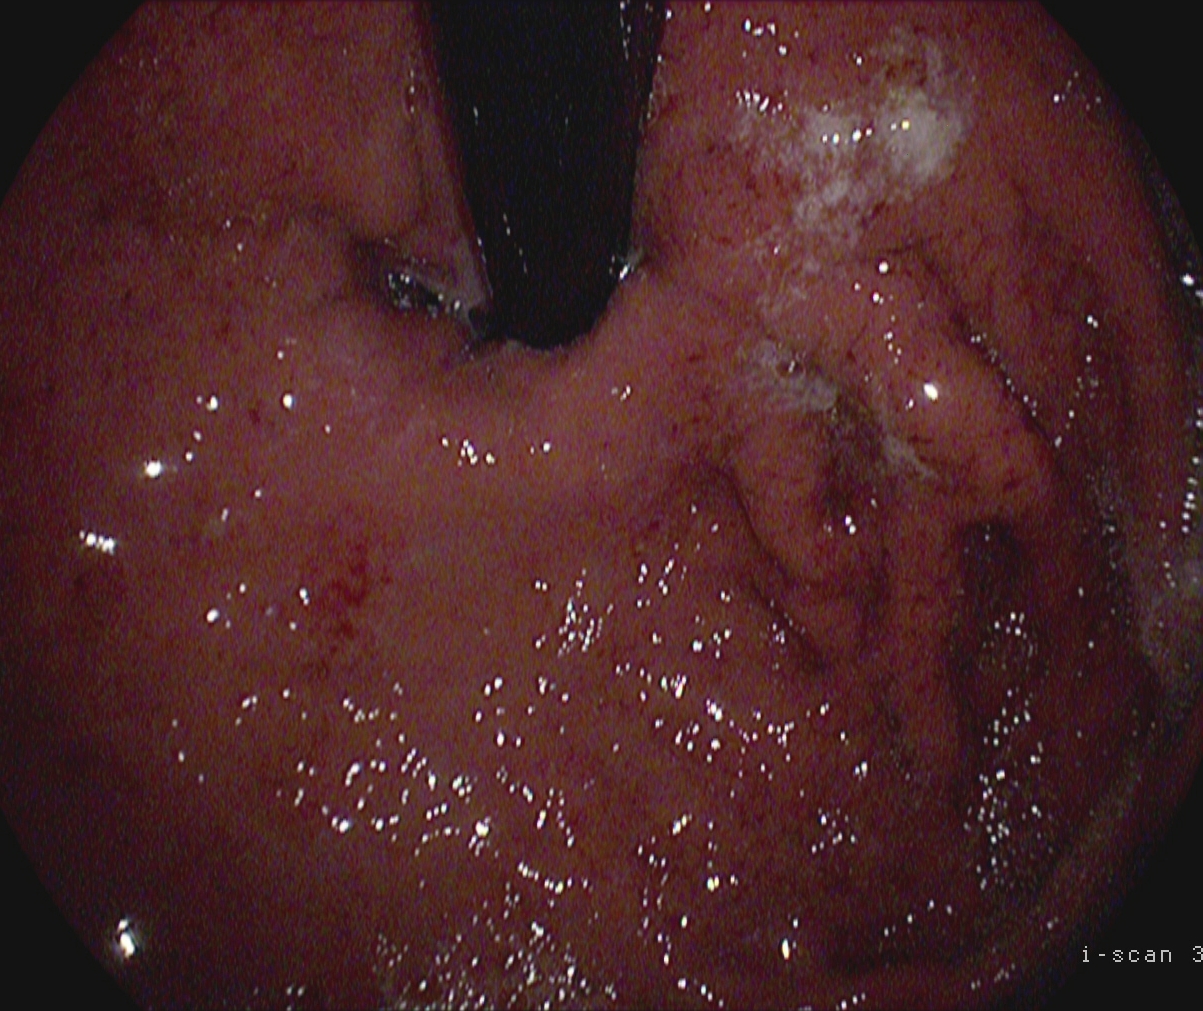EGD image of the upper GI tract showing stomach in retroflexion.